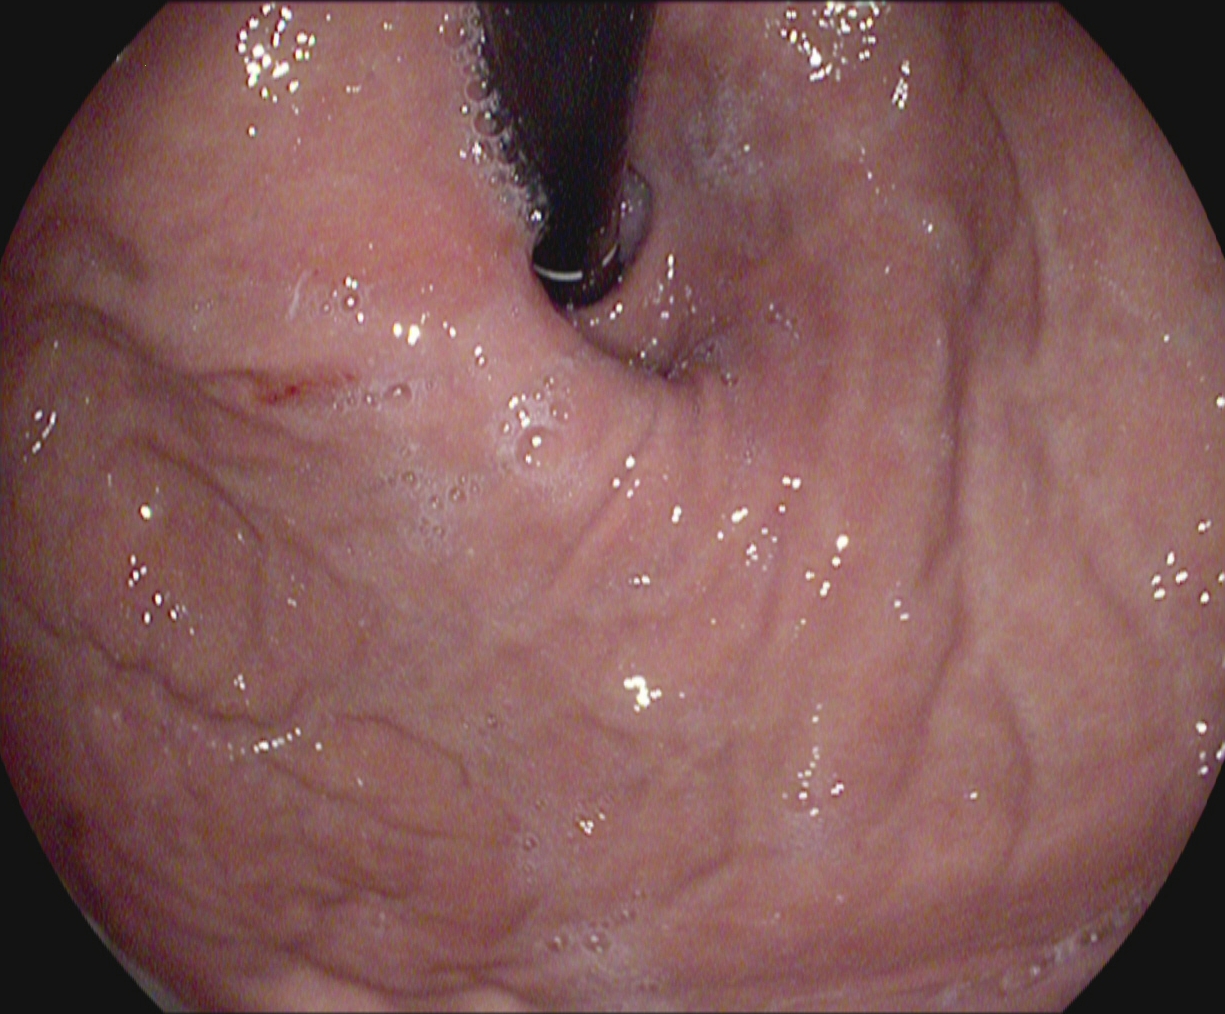{"modality": "esophagogastroduodenoscopy", "finding": "stomach in retroflexion"}